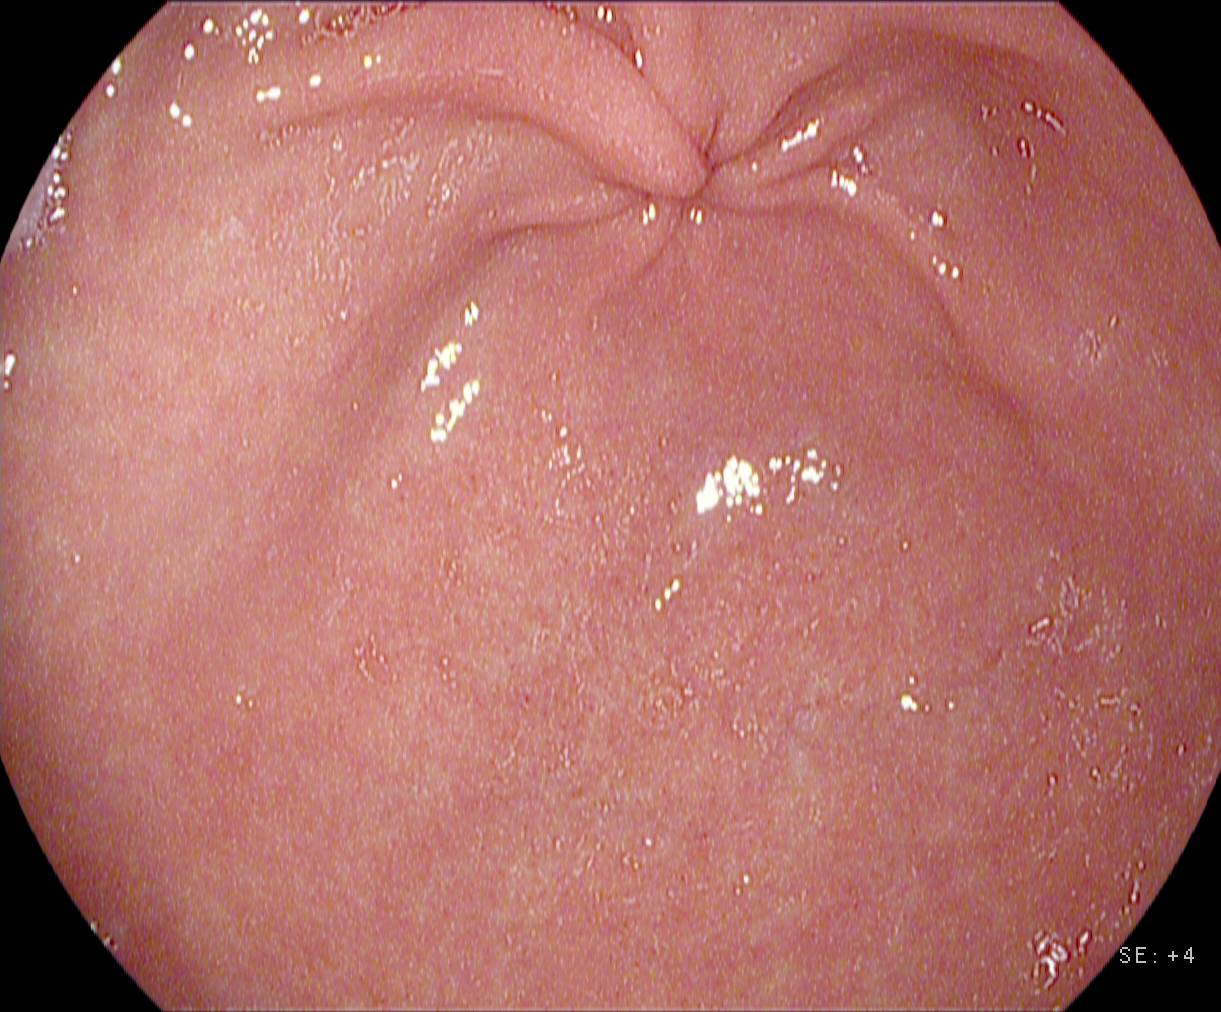Esophagogastroduodenoscopy — pylorus.